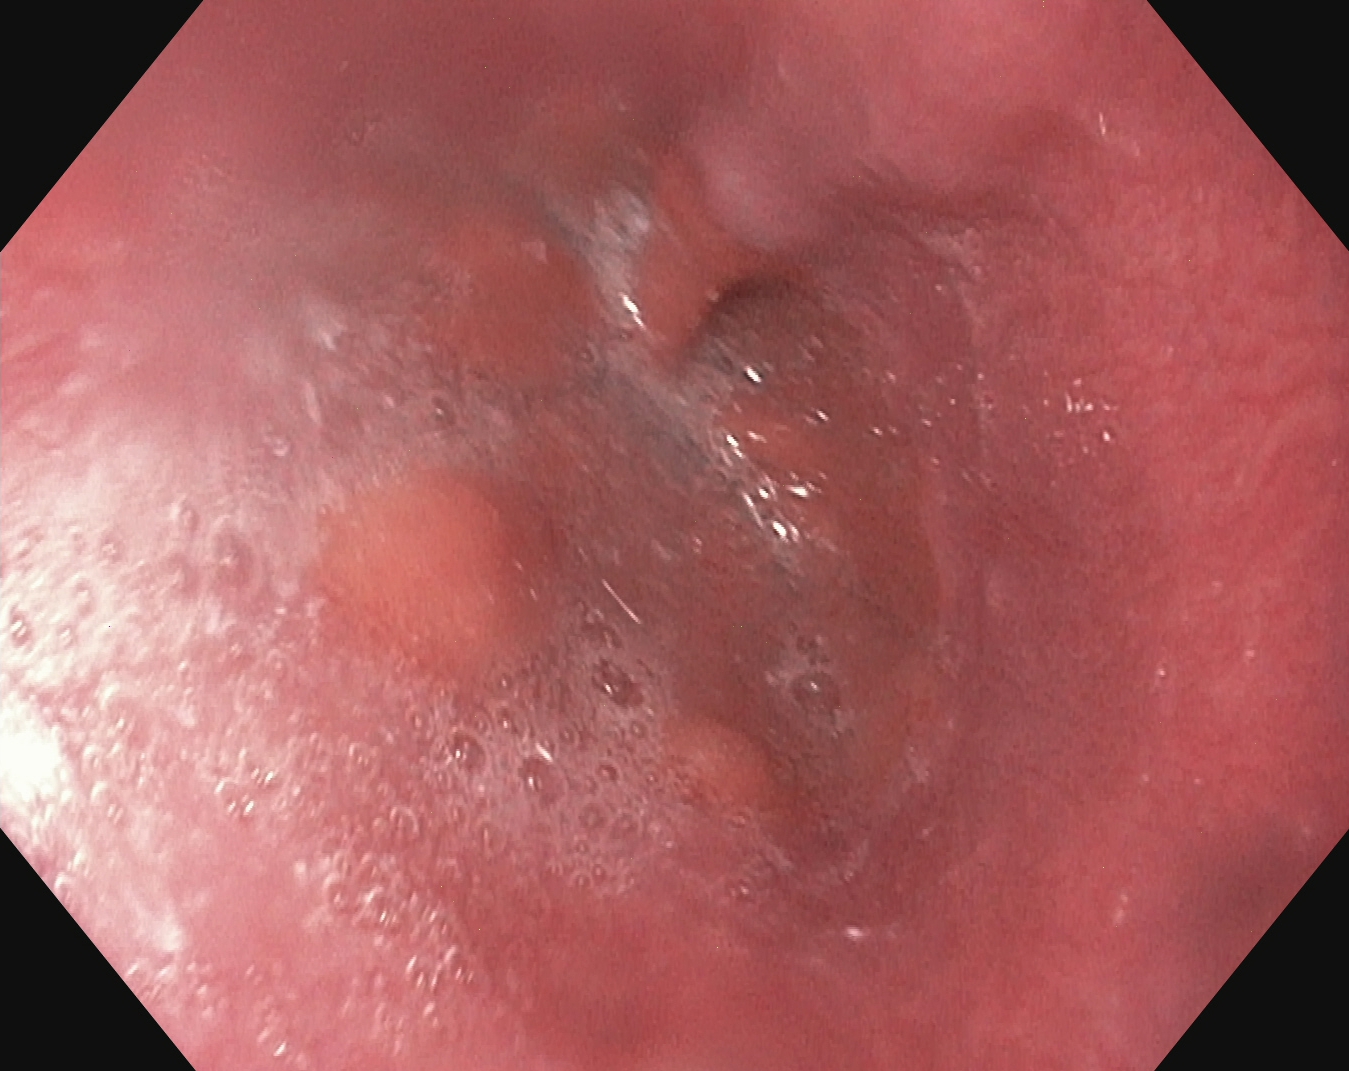{"modality": "EGD", "tract": "upper GI tract", "category": "anatomical landmark", "finding": "Z-line (gastroesophageal junction)"}